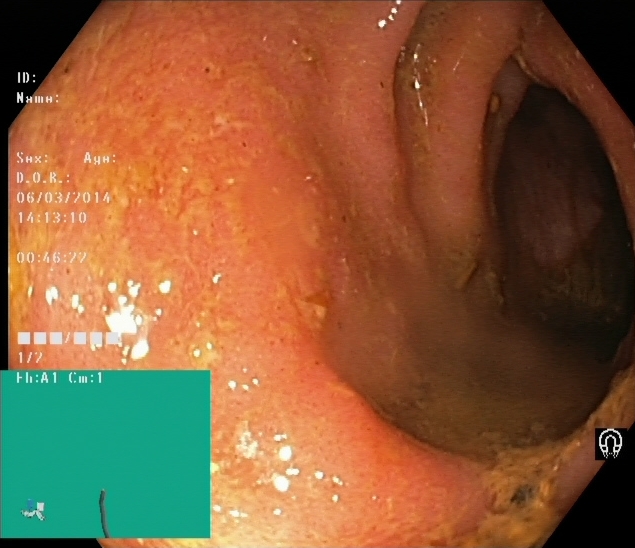modality: lower gastrointestinal endoscopy | tract: lower GI tract | category: pathological finding | finding: UC, Mayo endoscopic subscore 1